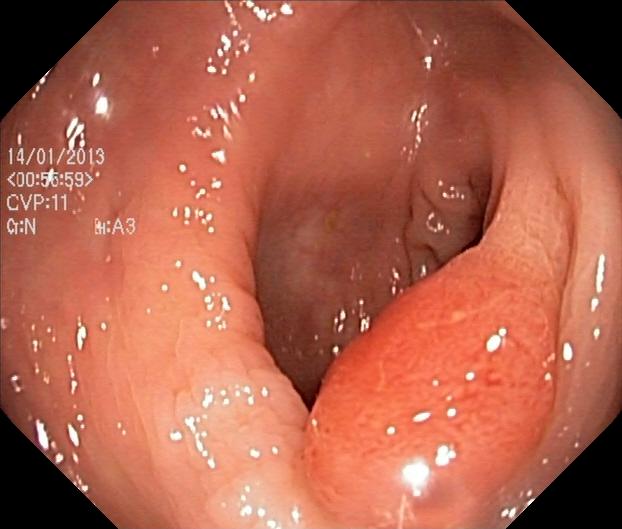Colorectal polyp(s).